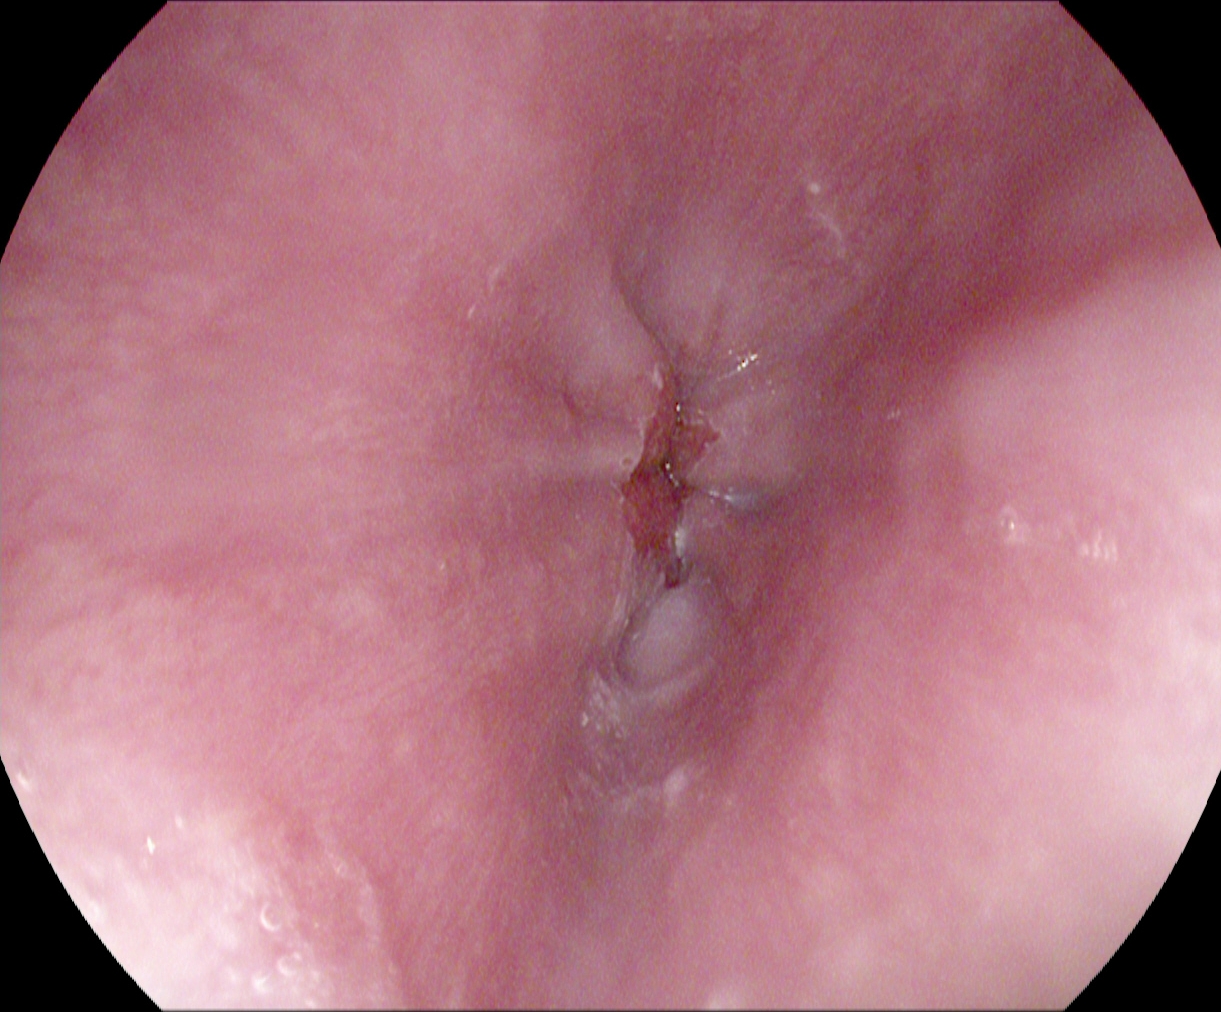PROCEDURE: Gastroscopy.
FINDINGS: Z-line (gastroesophageal junction).